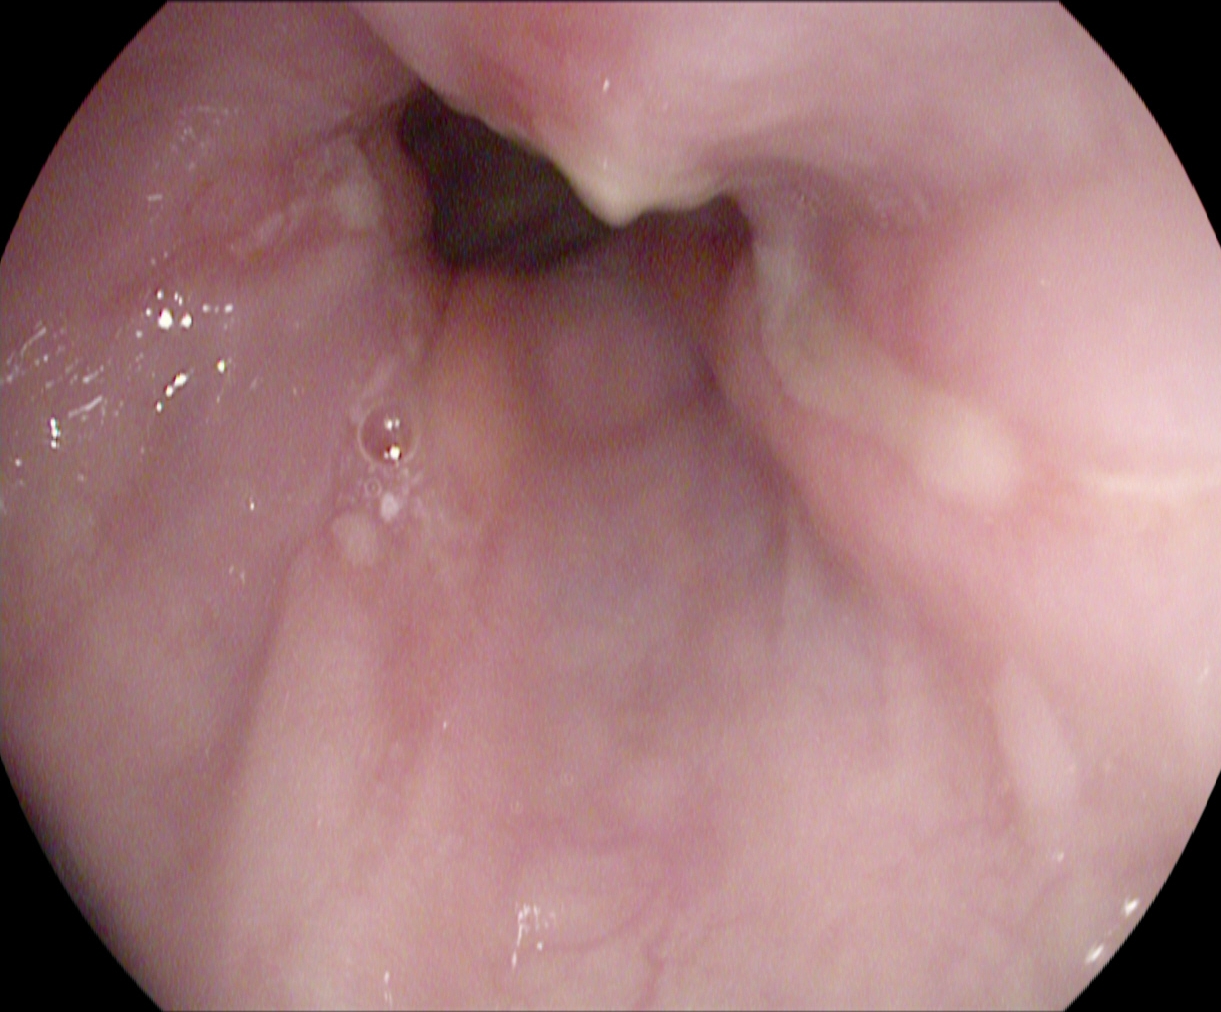Upper-GI endoscopy. Tract: upper GI tract. Pathological finding. Finding: reflux esophagitis, Los Angeles grade A.